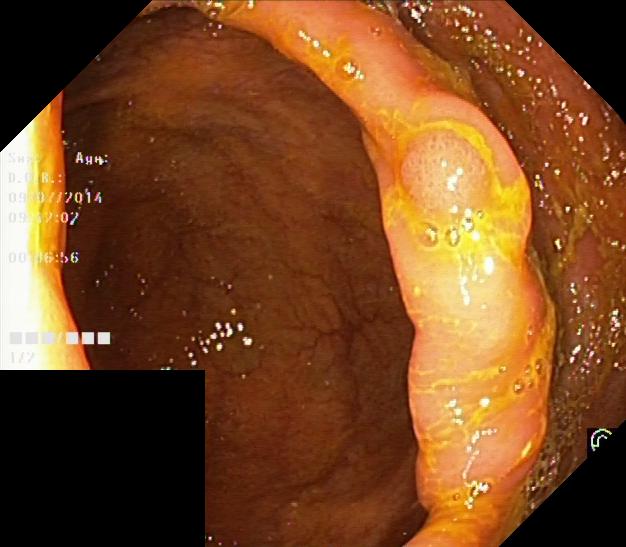Endoscopy image showing colorectal polyp(s).